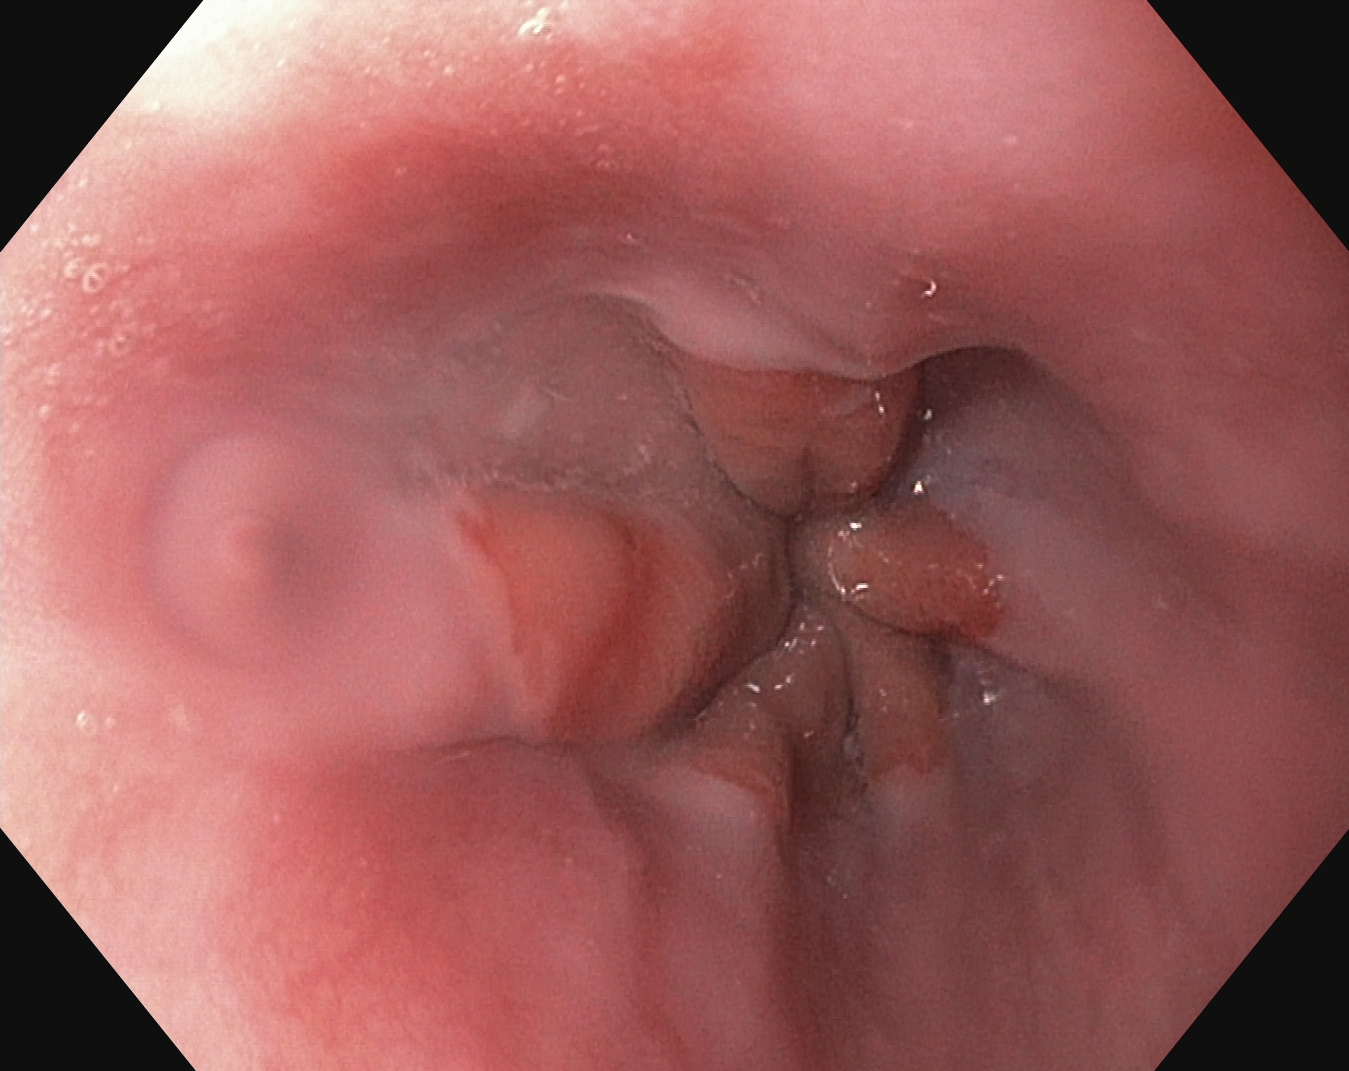EGD image of the upper GI tract showing Z-line (gastroesophageal junction).